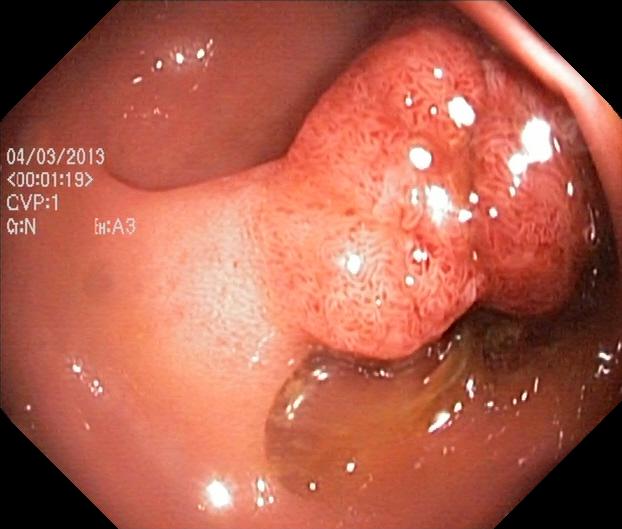Lower gastrointestinal endoscopy. Tract: lower GI tract. Finding: colorectal polyp(s).